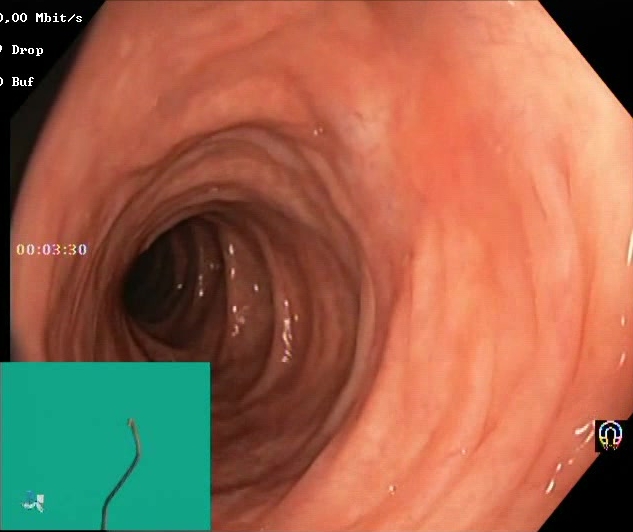This endoscopic image of the lower GI tract shows Boston Bowel Preparation Scale score 2–3 (adequate preparation).